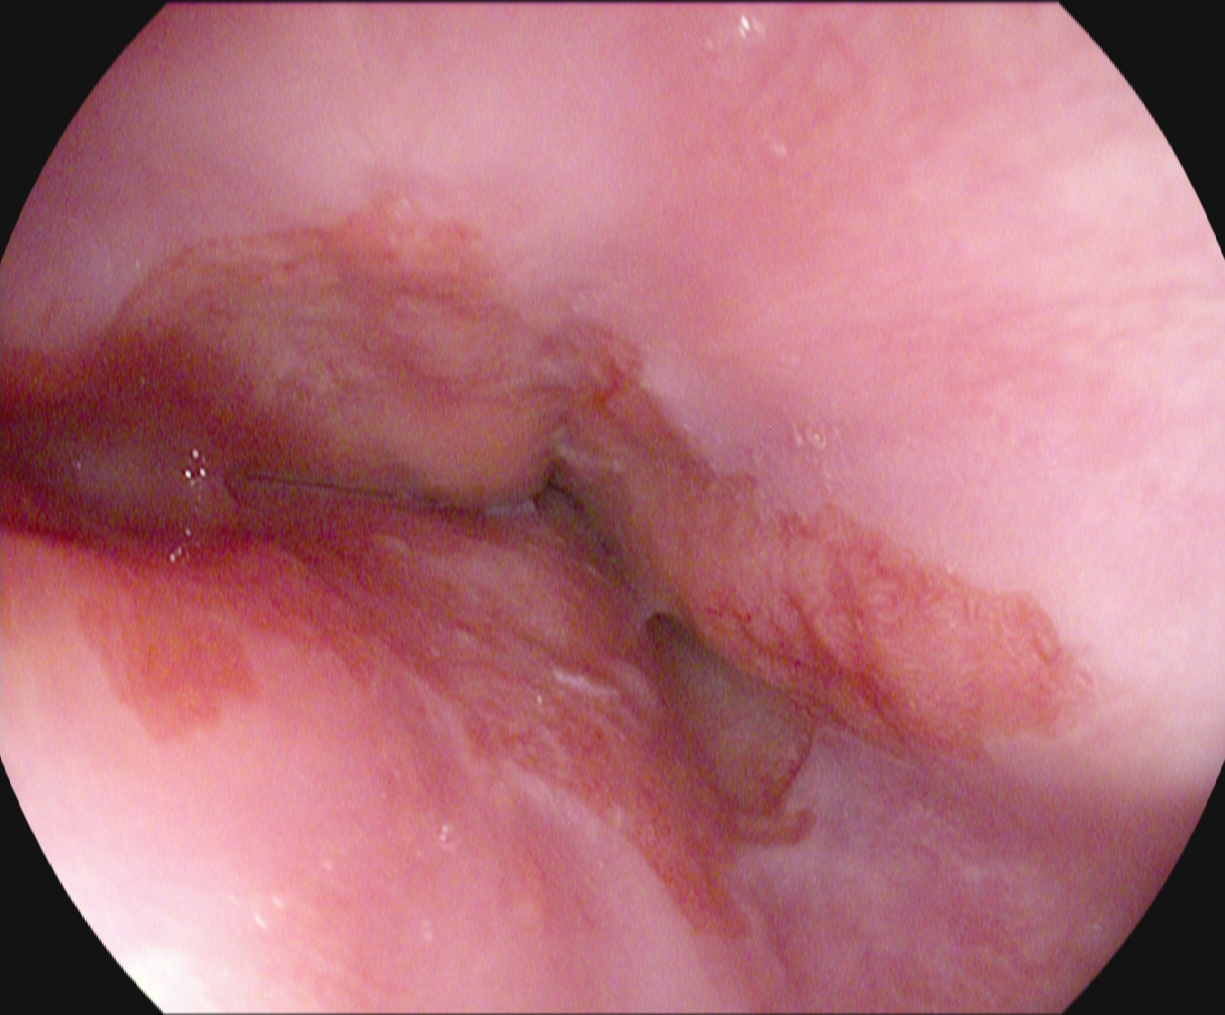{"modality": "EGD", "finding": "reflux esophagitis, Los Angeles grade A"}